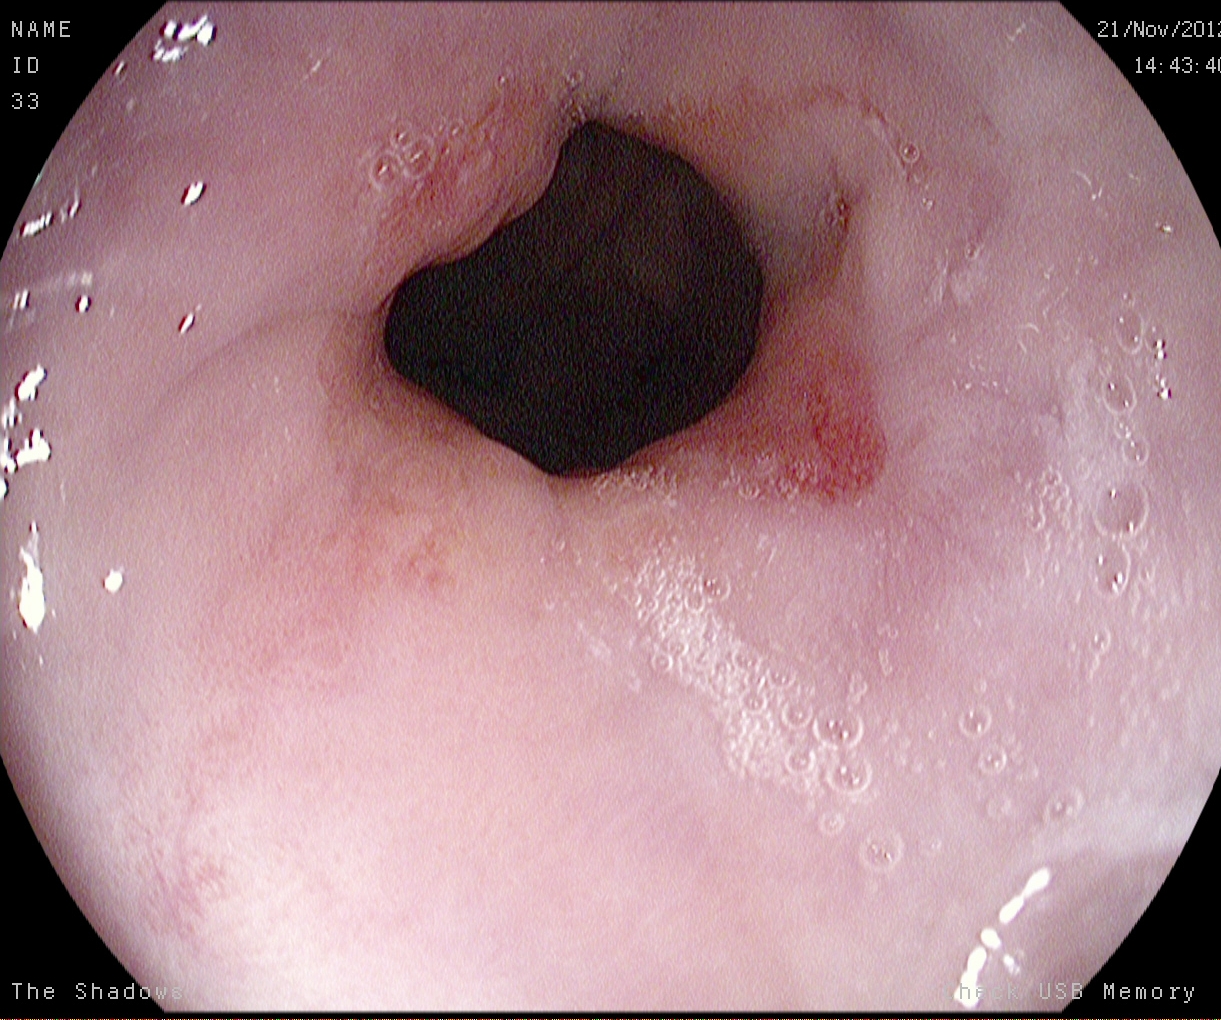Gastroscopy — reflux esophagitis, LA grade A.